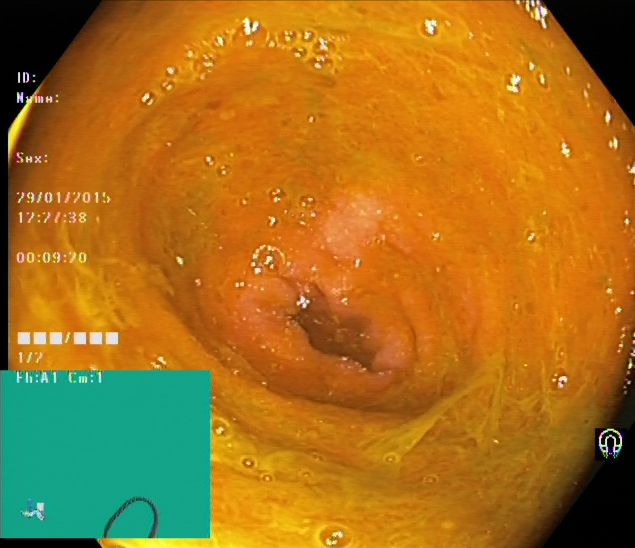PROCEDURE: Lower-GI endoscopy.
CATEGORY: Anatomical landmark.
FINDINGS: Cecum.